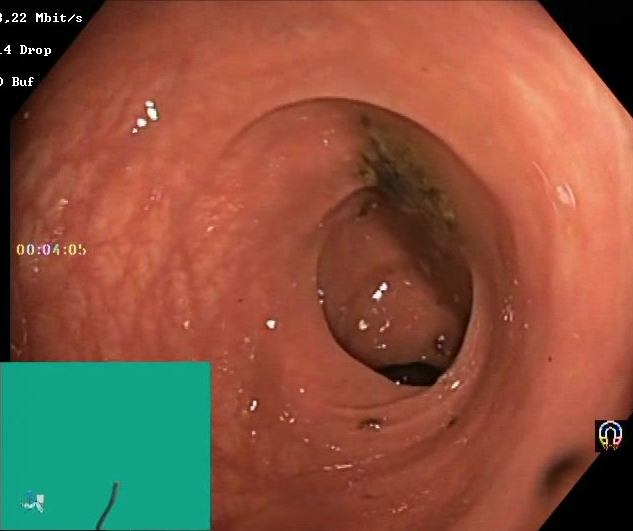modality: lower-GI endoscopy; tract: lower GI tract; category: mucosal-view quality; finding: Boston Bowel Preparation Scale score 0–1 (inadequate preparation)